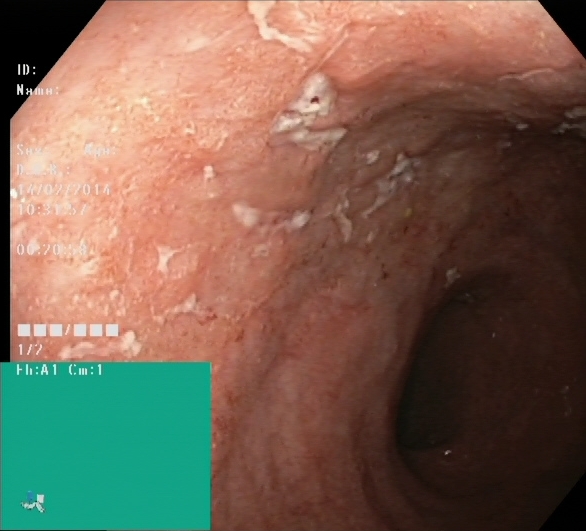{"modality": "lower gastrointestinal endoscopy", "tract": "lower GI tract", "category": "pathological finding", "finding": "UC, Mayo endoscopic subscore 2\u20133"}